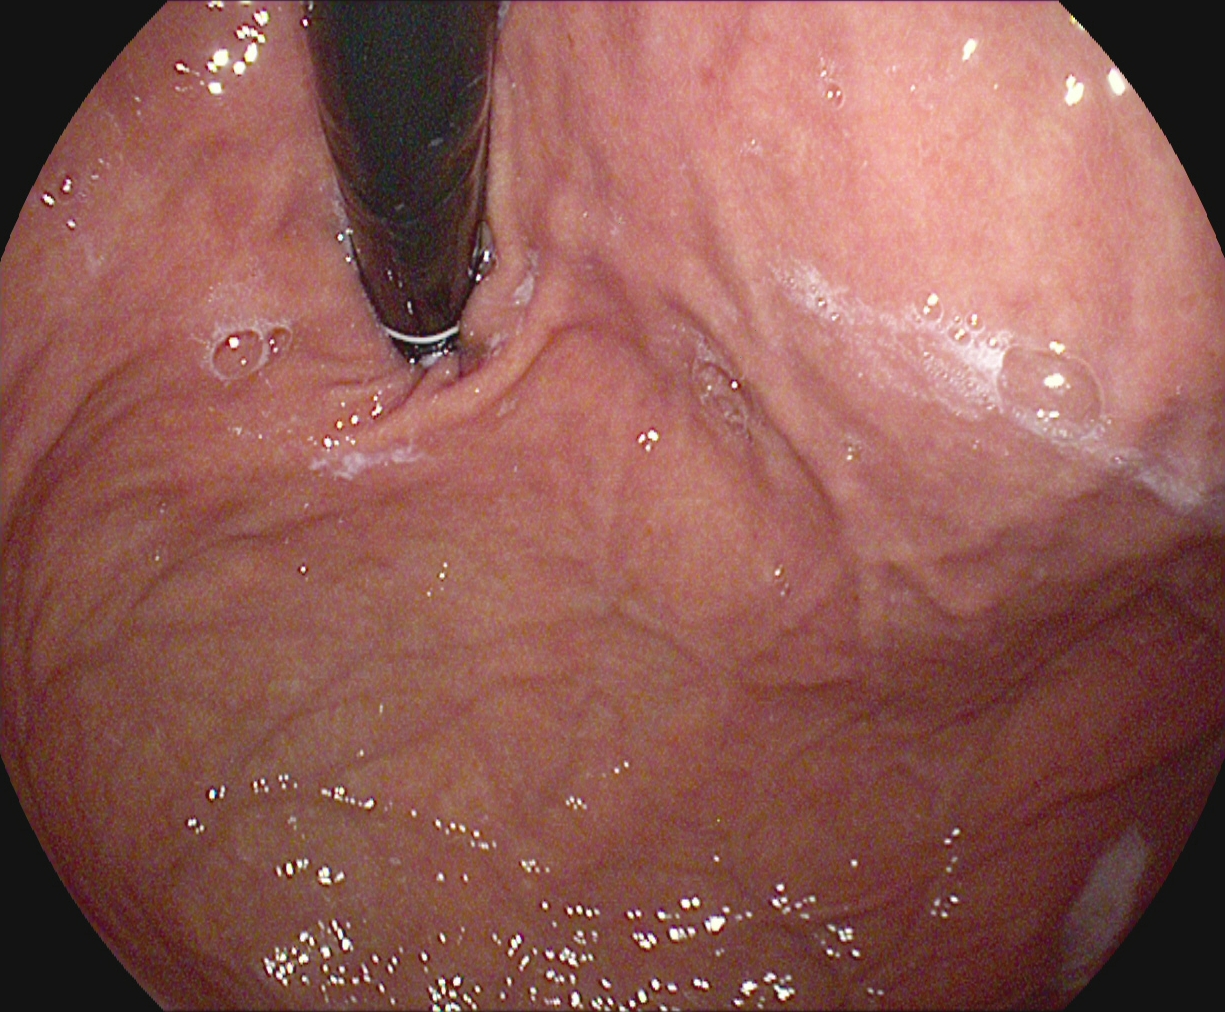stomach in retroflexion.